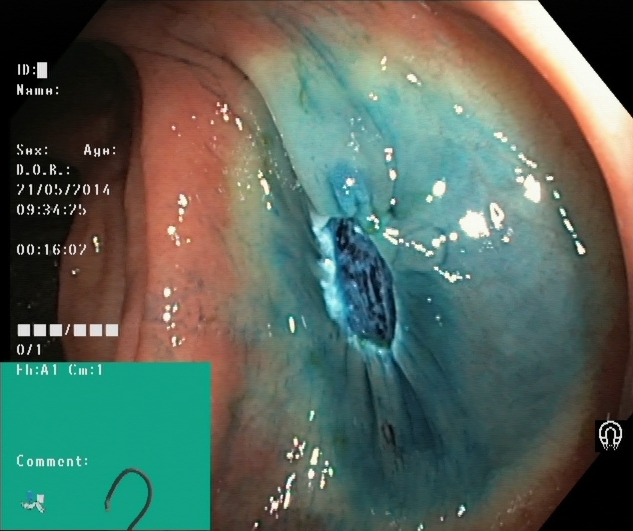Lower gastrointestinal endoscopy — dyed resection margins (post-polypectomy).